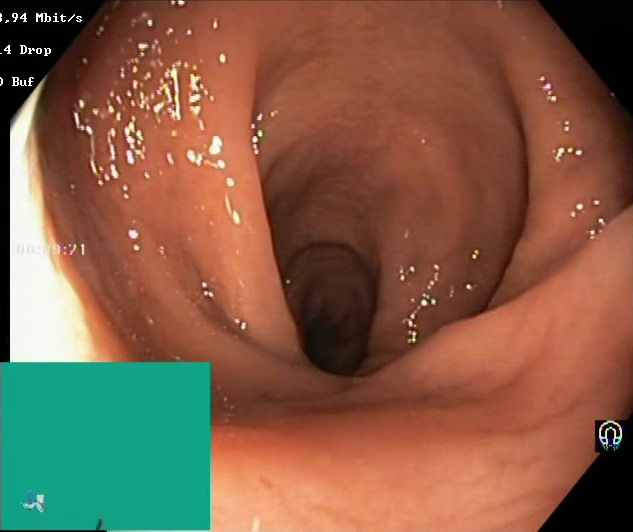Endoscopic frame of the lower GI tract showing Boston Bowel Preparation Scale score 2–3 (adequate preparation).